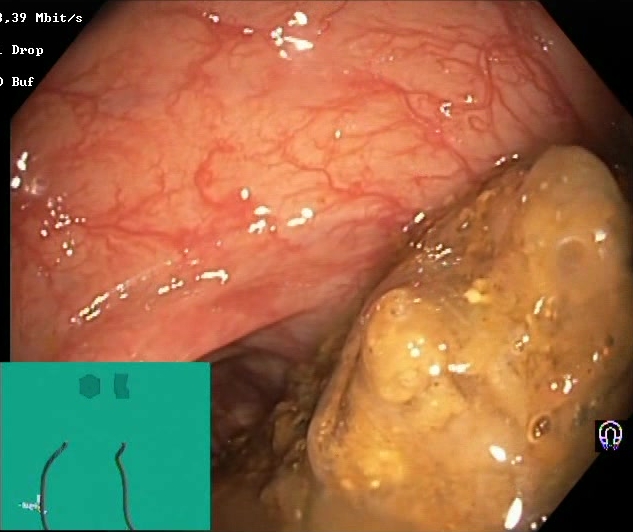BBPS score 0–1 (inadequate preparation).